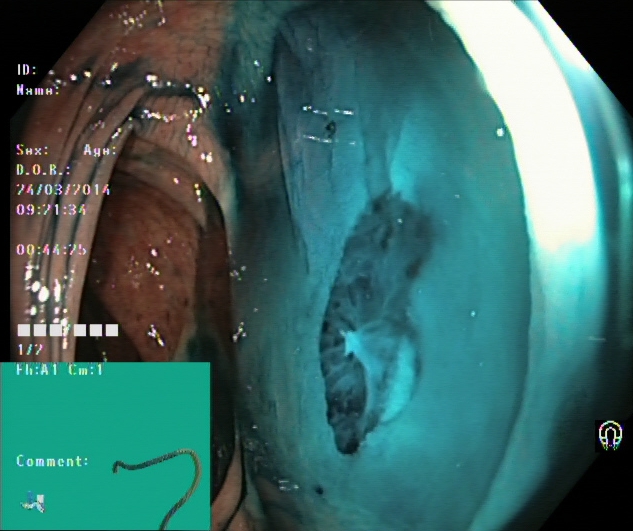Dyed resection margins (post-polypectomy).